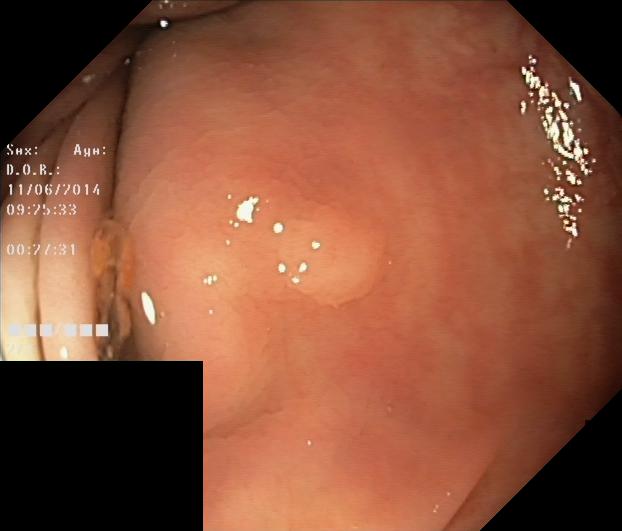Lower-GI endoscopy — colorectal polyp(s).